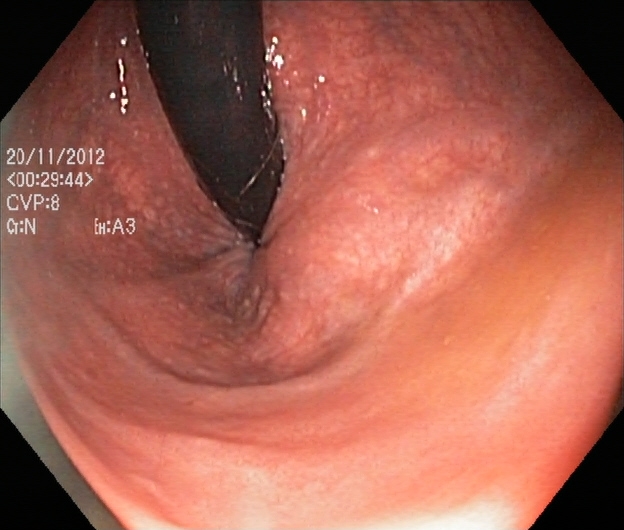Colonoscopy — rectum in retroflexion.